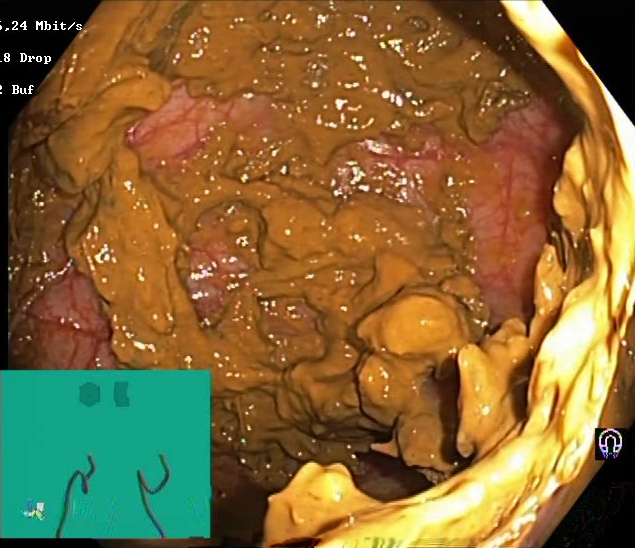Gastrointestinal endoscopy image of the lower GI tract showing Boston Bowel Preparation Scale score 0–1 (inadequate preparation).